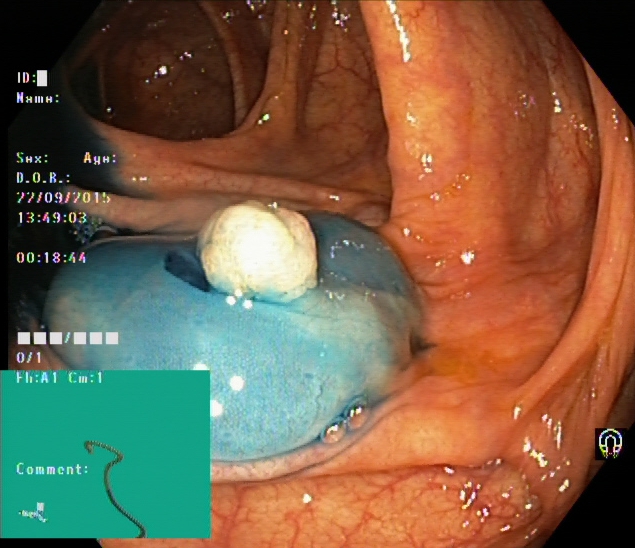PROCEDURE: Lower-GI endoscopy.
CATEGORY: Therapeutic intervention.
FINDINGS: Dyed and lifted polyp (pre-resection).